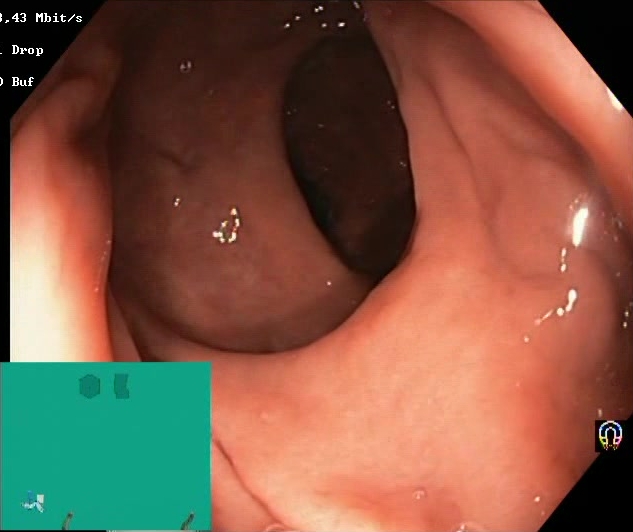PROCEDURE: Colonoscopy.
FINDINGS: Boston Bowel Preparation Scale score 2–3 (adequate preparation).